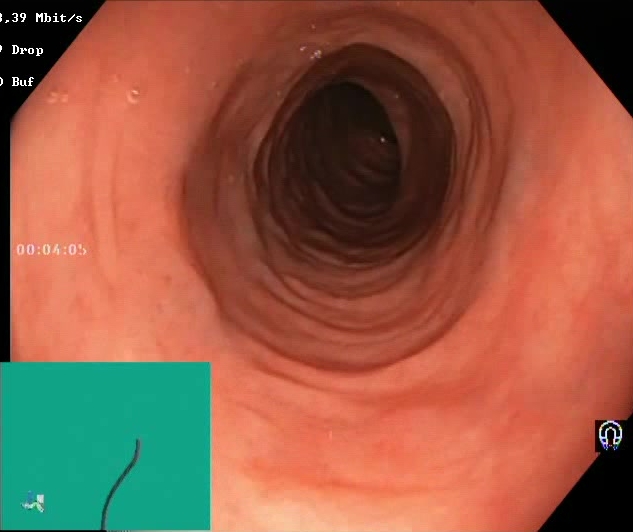Colonoscopy — BBPS score 2–3 (adequate preparation).